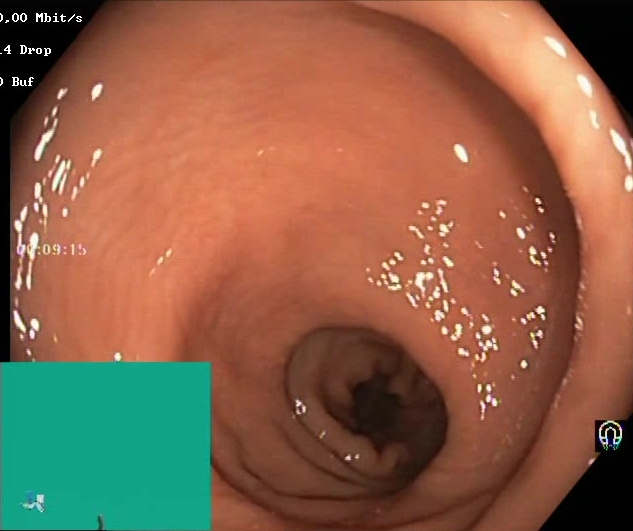This endoscopic image of the lower GI tract shows BBPS score 2–3 (adequate preparation).